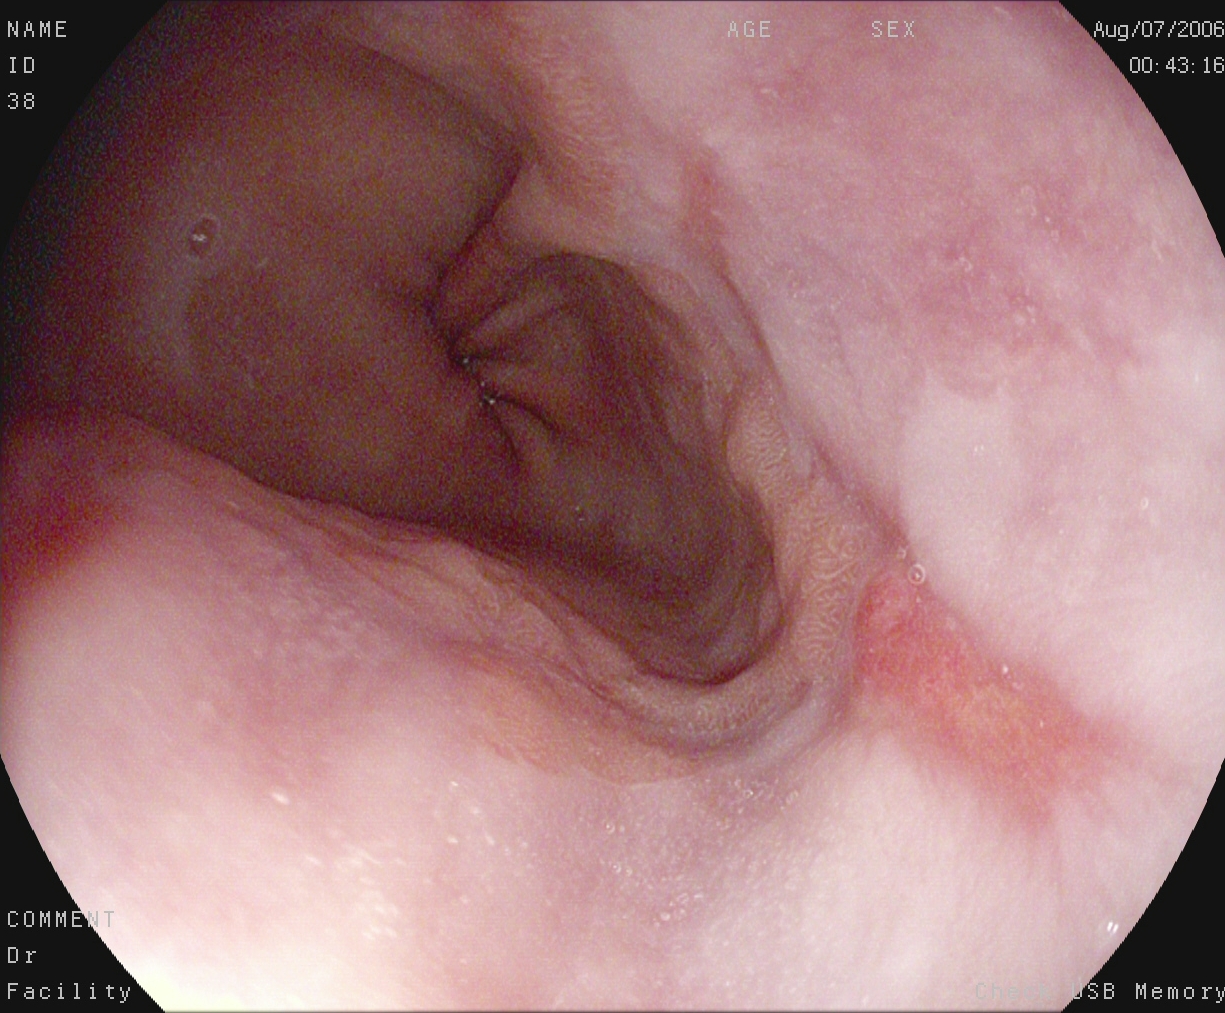PROCEDURE: Esophagogastroduodenoscopy.
FINDINGS: Reflux esophagitis, Los Angeles grade A.